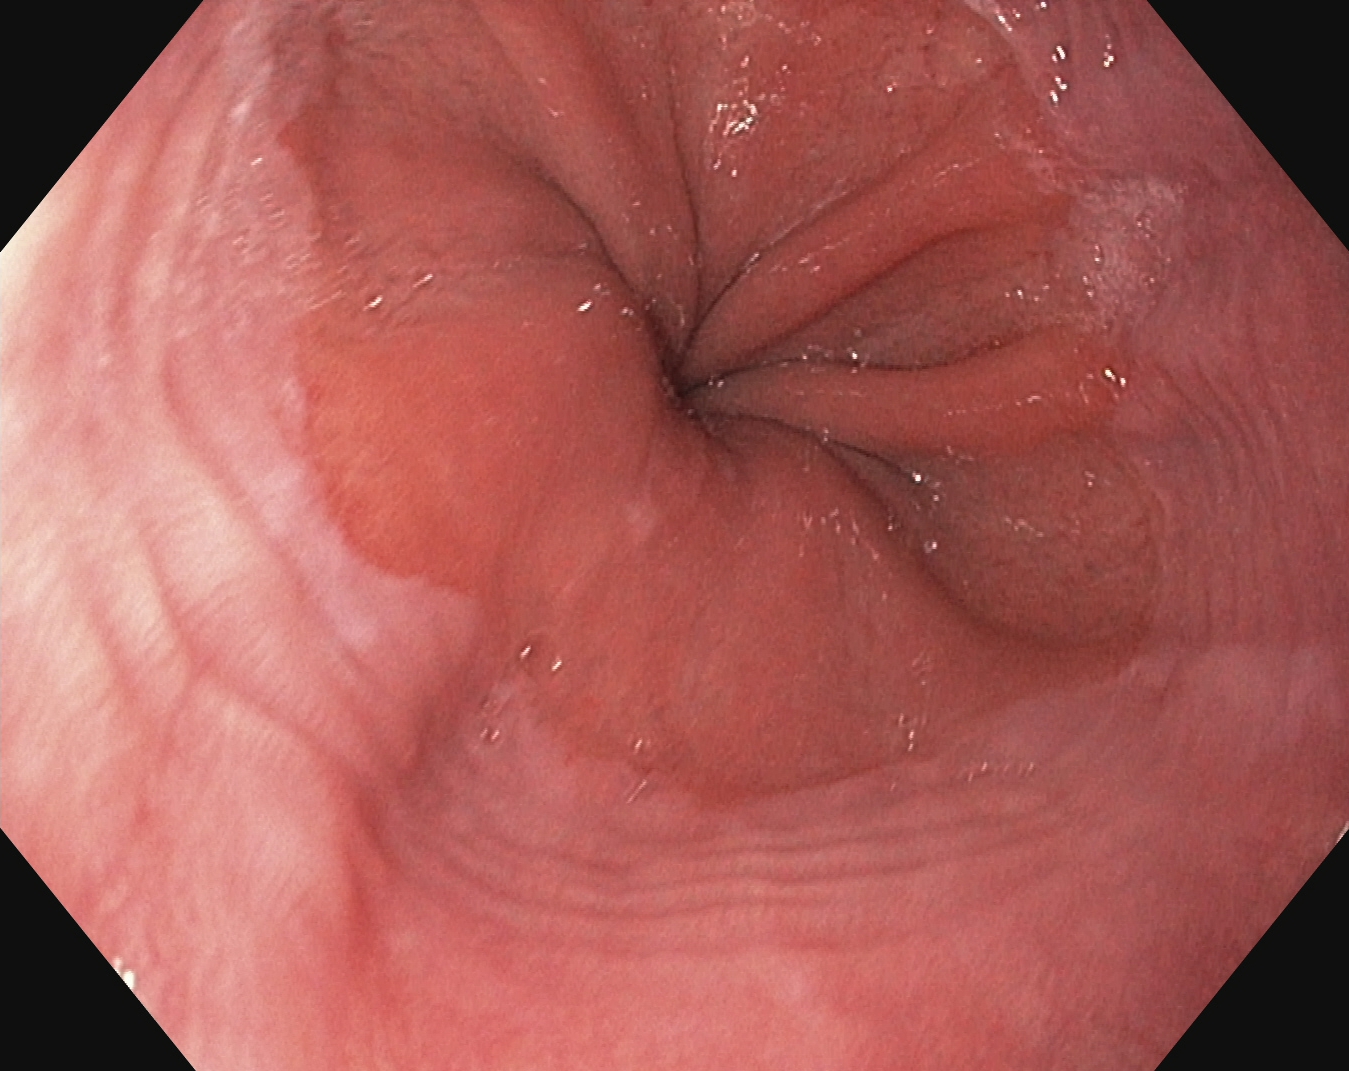This endoscopy frame shows Z-line (gastroesophageal junction).